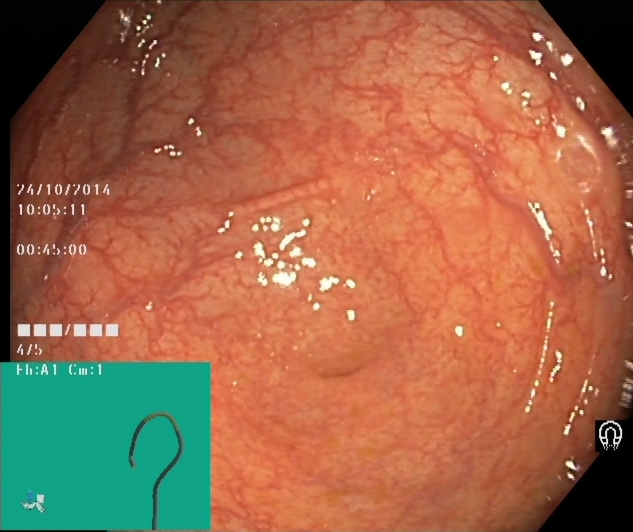Cecum.